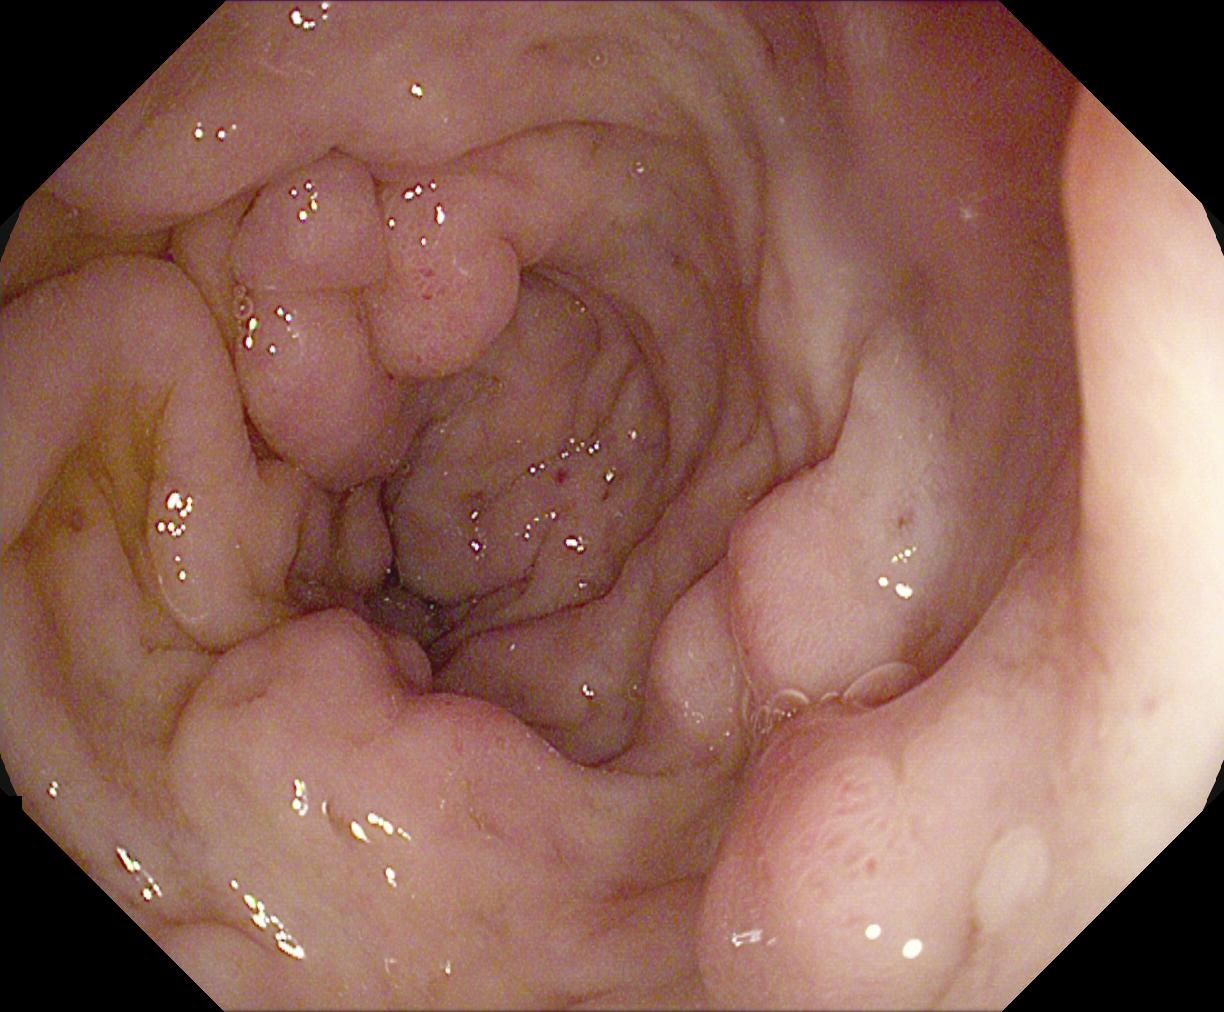PROCEDURE: Lower gastrointestinal endoscopy.
CATEGORY: Pathological finding.
FINDINGS: Colorectal polyp(s).